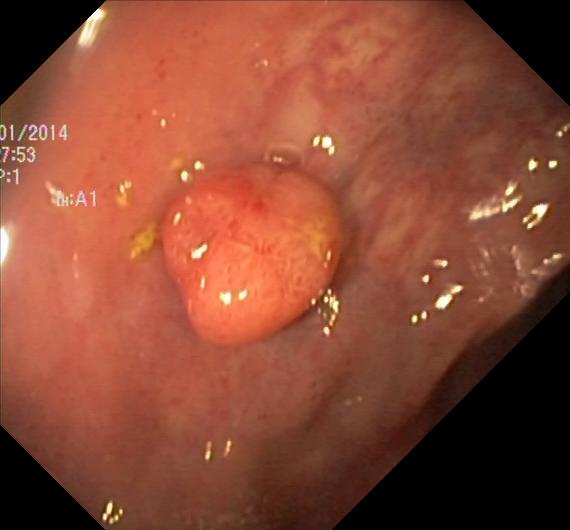Lower gastrointestinal endoscopy — colorectal polyp(s).